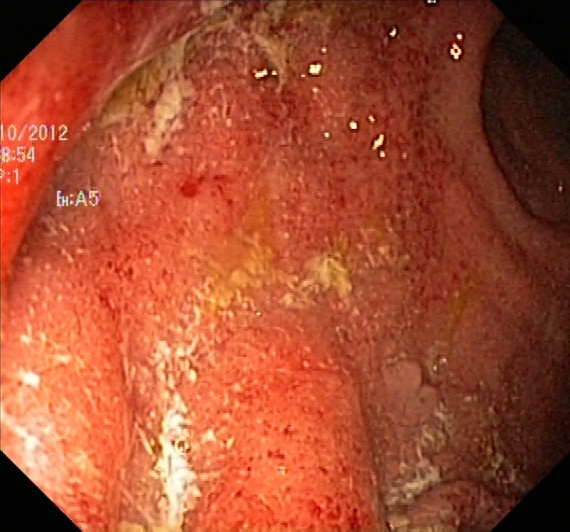Ulcerative colitis, Mayo endoscopic subscore 2.